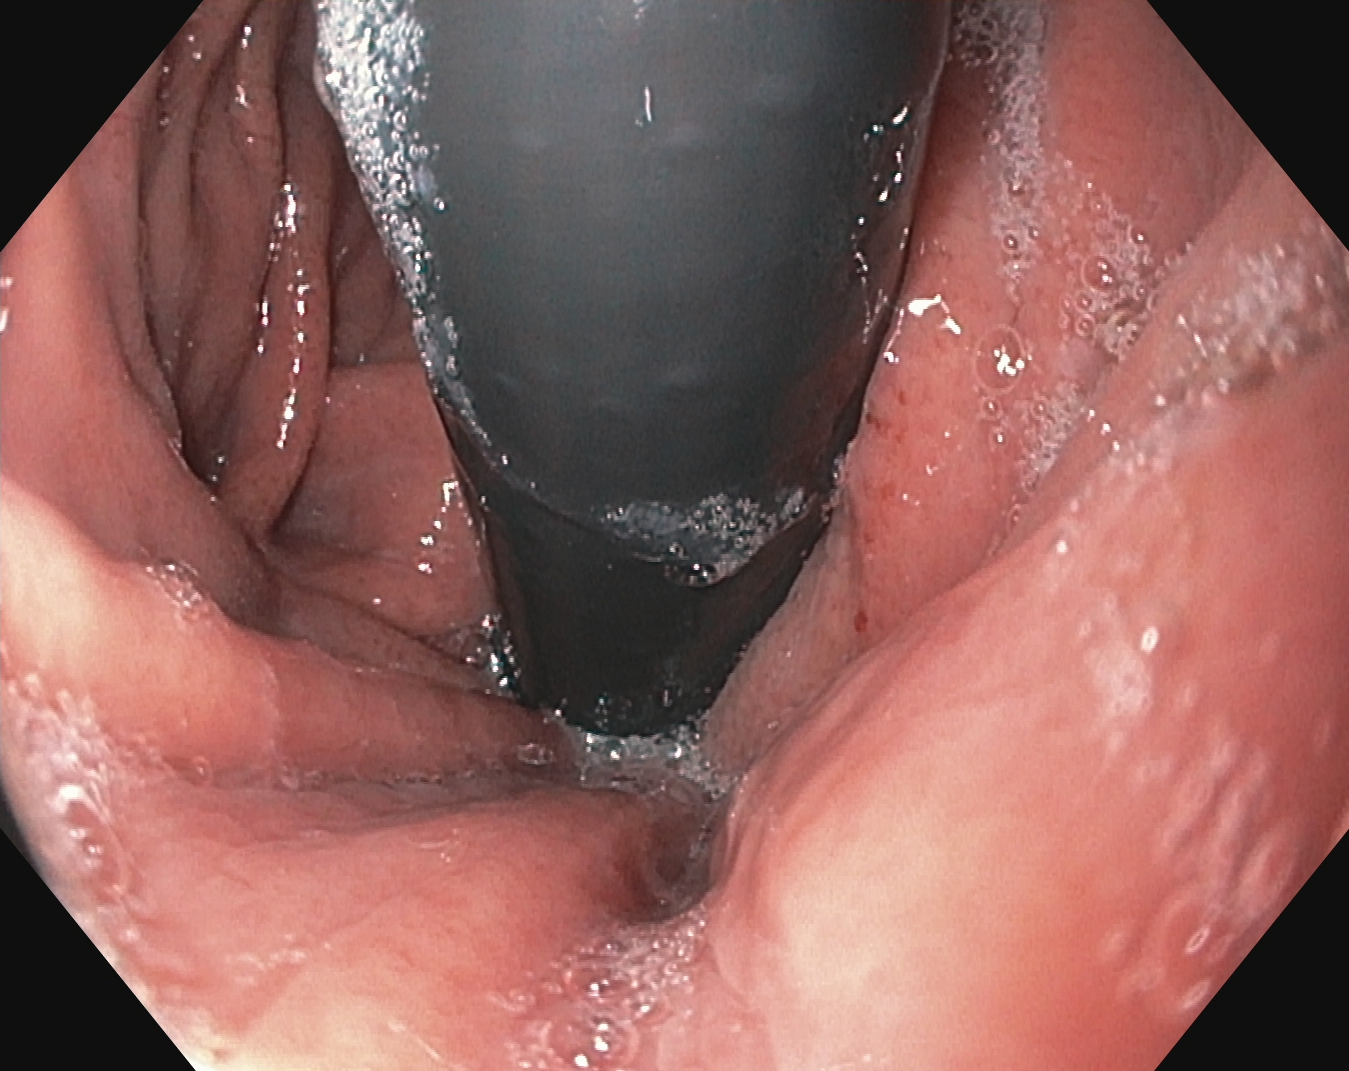Gastrointestinal endoscopy image showing stomach in retroflexion.